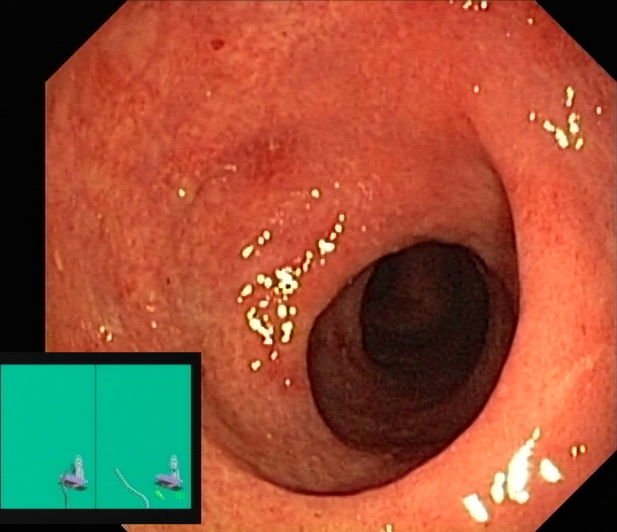modality: colonoscopy | tract: lower GI tract | finding: UC, Mayo endoscopic subscore 2